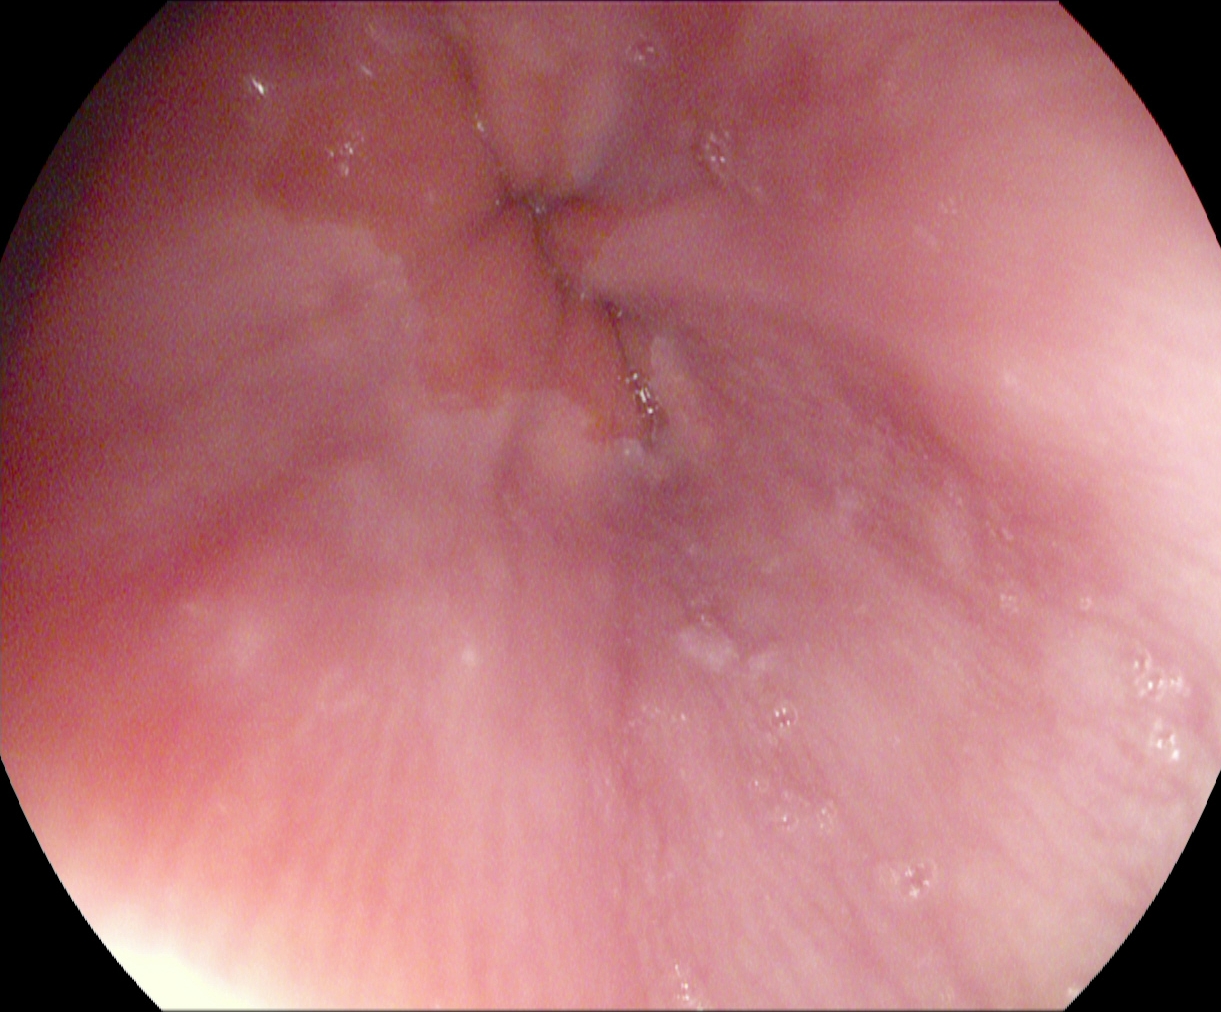Z-line (gastroesophageal junction).